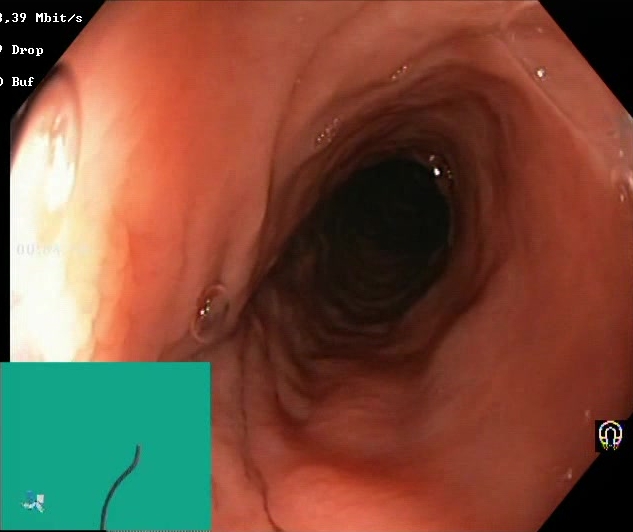This endoscopy frame of the lower GI tract shows BBPS score 2–3 (adequate preparation).